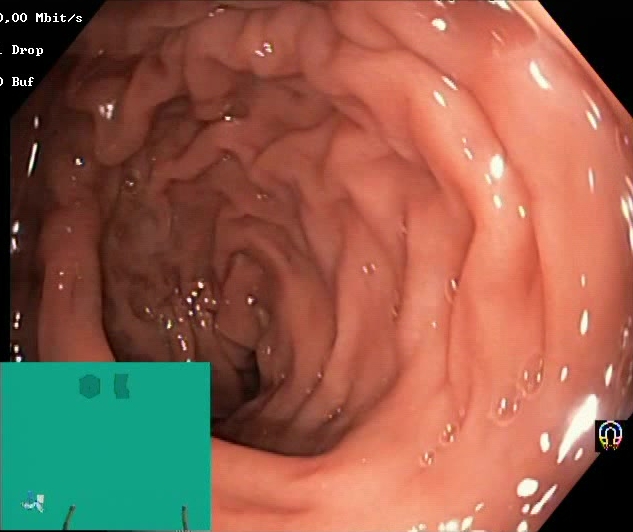PROCEDURE: Colonoscopy.
CATEGORY: Mucosal-view quality.
FINDINGS: Boston Bowel Preparation Scale score 2–3 (adequate preparation).